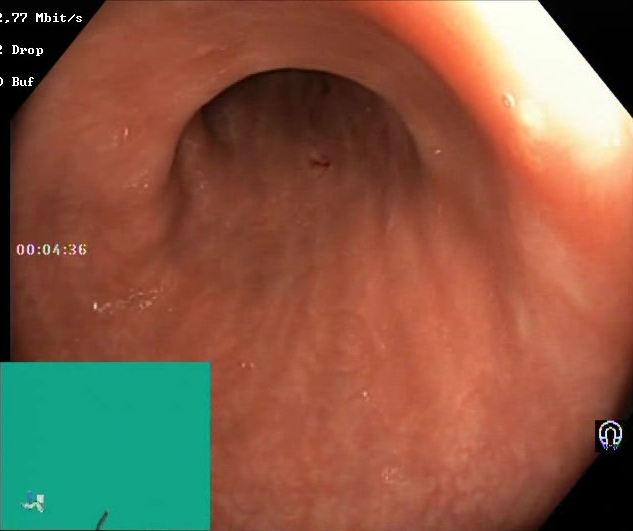Lower gastrointestinal endoscopy. Tract: lower GI tract. Finding: Boston Bowel Preparation Scale score 2–3 (adequate preparation).